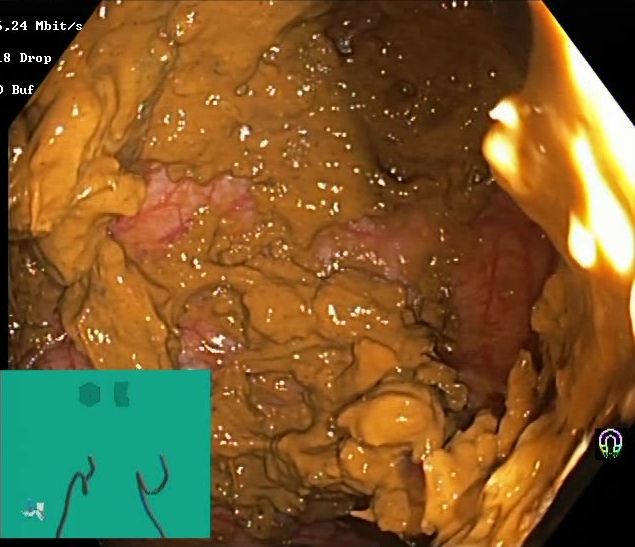{"modality": "colonoscopy", "tract": "lower GI tract", "finding": "BBPS score 0\u20131 (inadequate preparation)"}